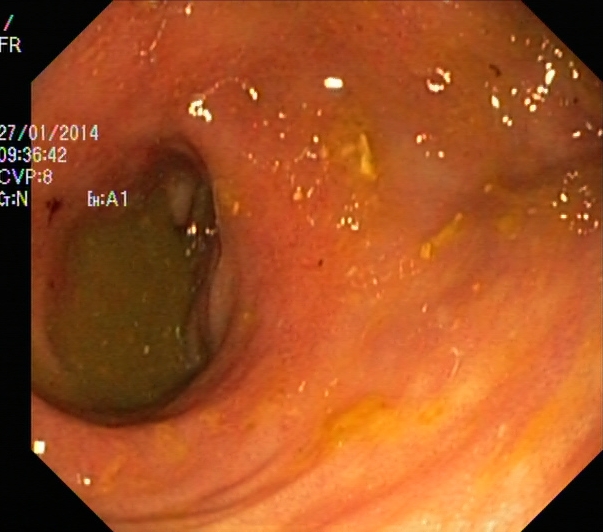{"modality": "lower gastrointestinal endoscopy", "tract": "lower GI tract", "category": "pathological finding", "finding": "UC, Mayo endoscopic subscore 2"}